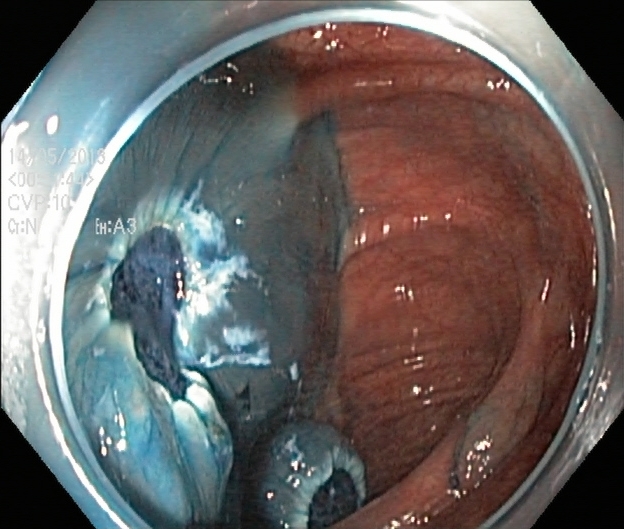modality: lower gastrointestinal endoscopy | tract: lower GI tract | finding: dyed resection margins (post-polypectomy)